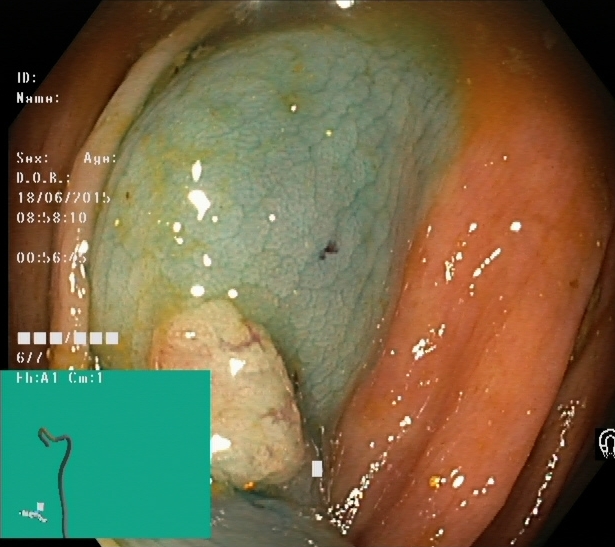PROCEDURE: Lower-GI endoscopy.
CATEGORY: Therapeutic intervention.
FINDINGS: Dyed and lifted polyp (pre-resection).